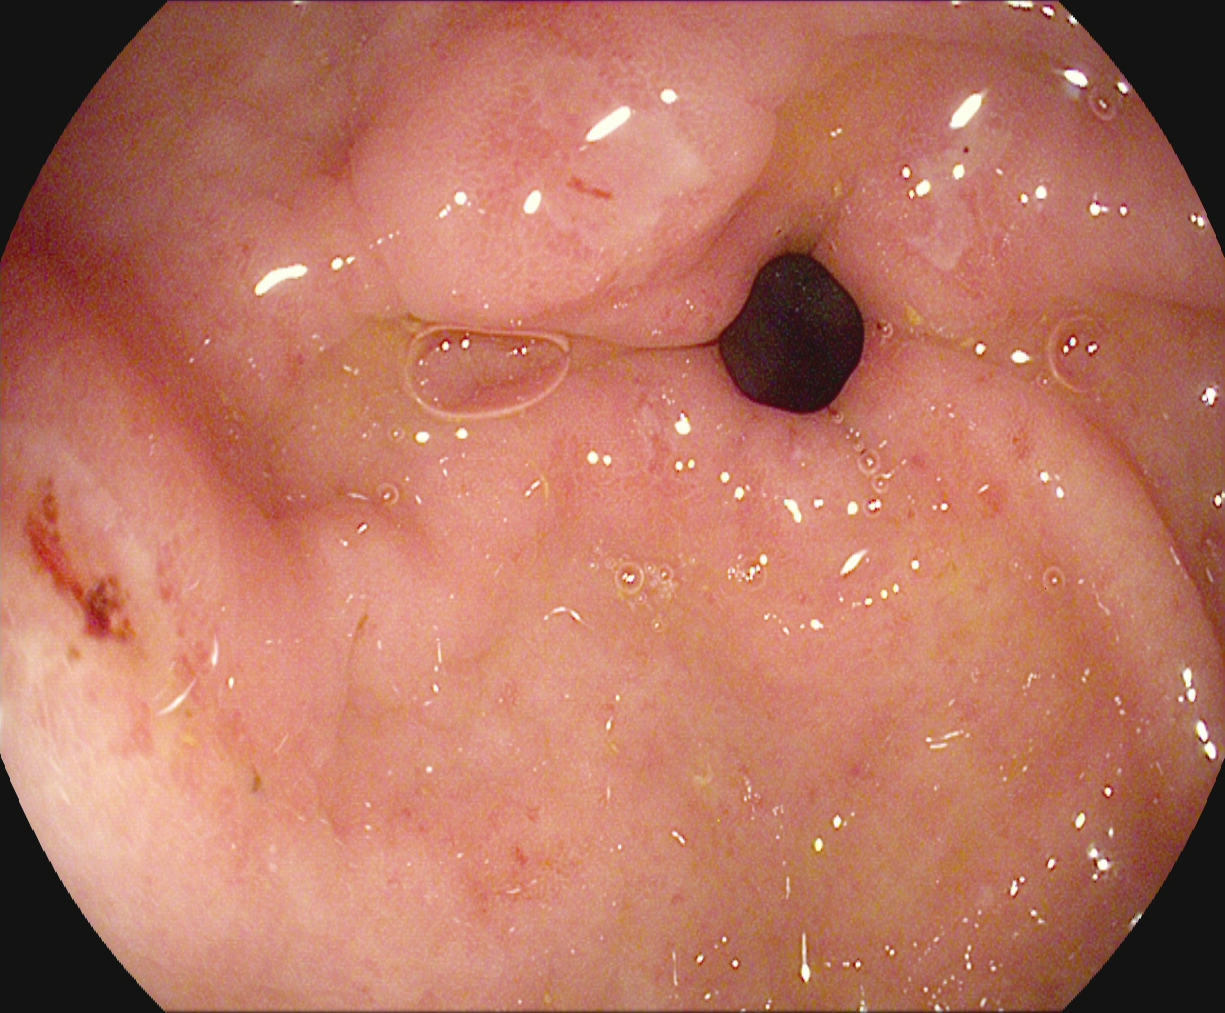Gastroscopy image of the upper GI tract showing pylorus.